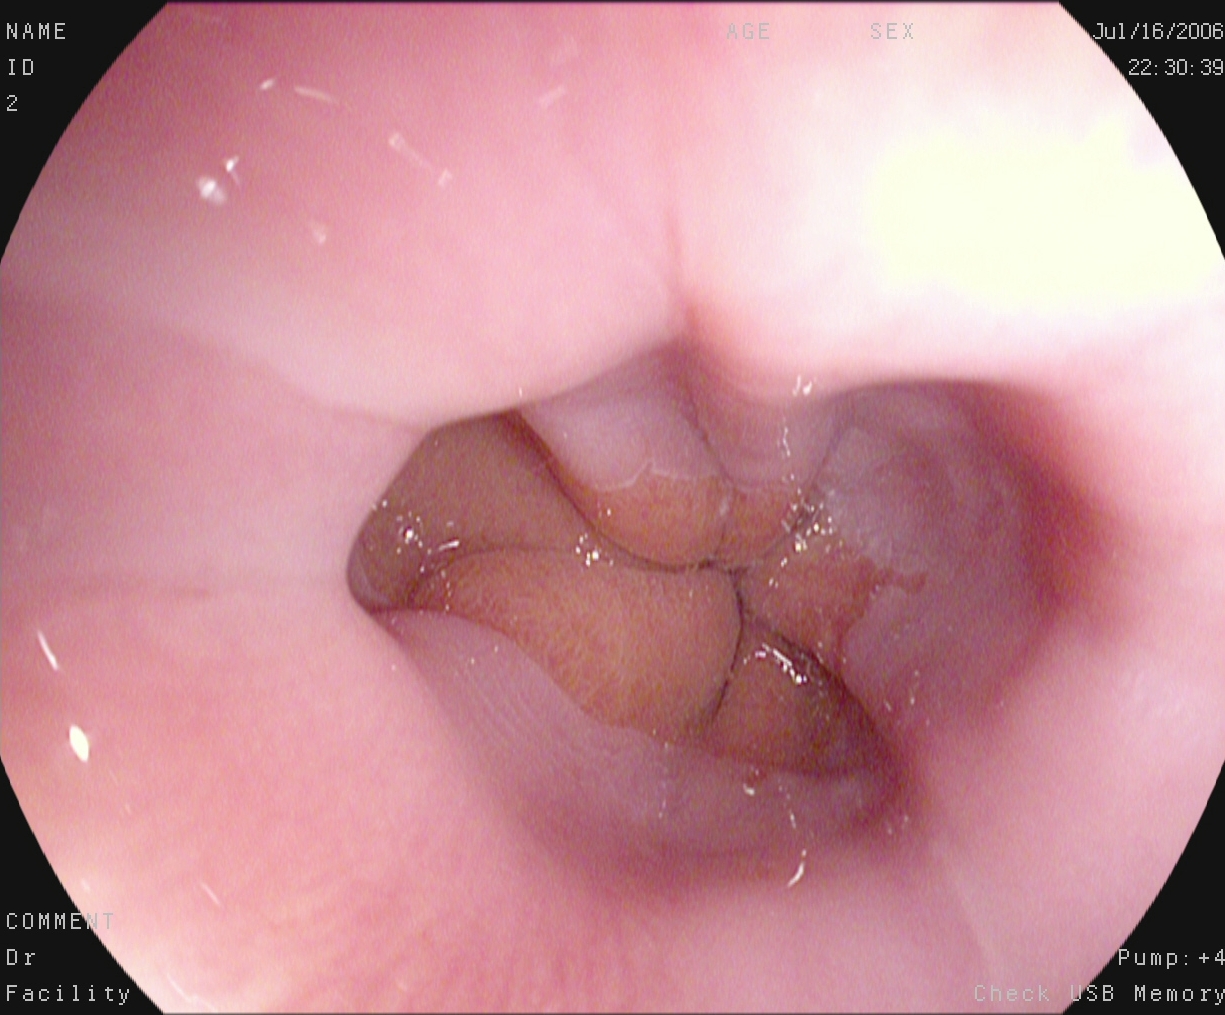{"modality": "esophagogastroduodenoscopy", "category": "pathological finding", "finding": "reflux esophagitis, Los Angeles grade A"}